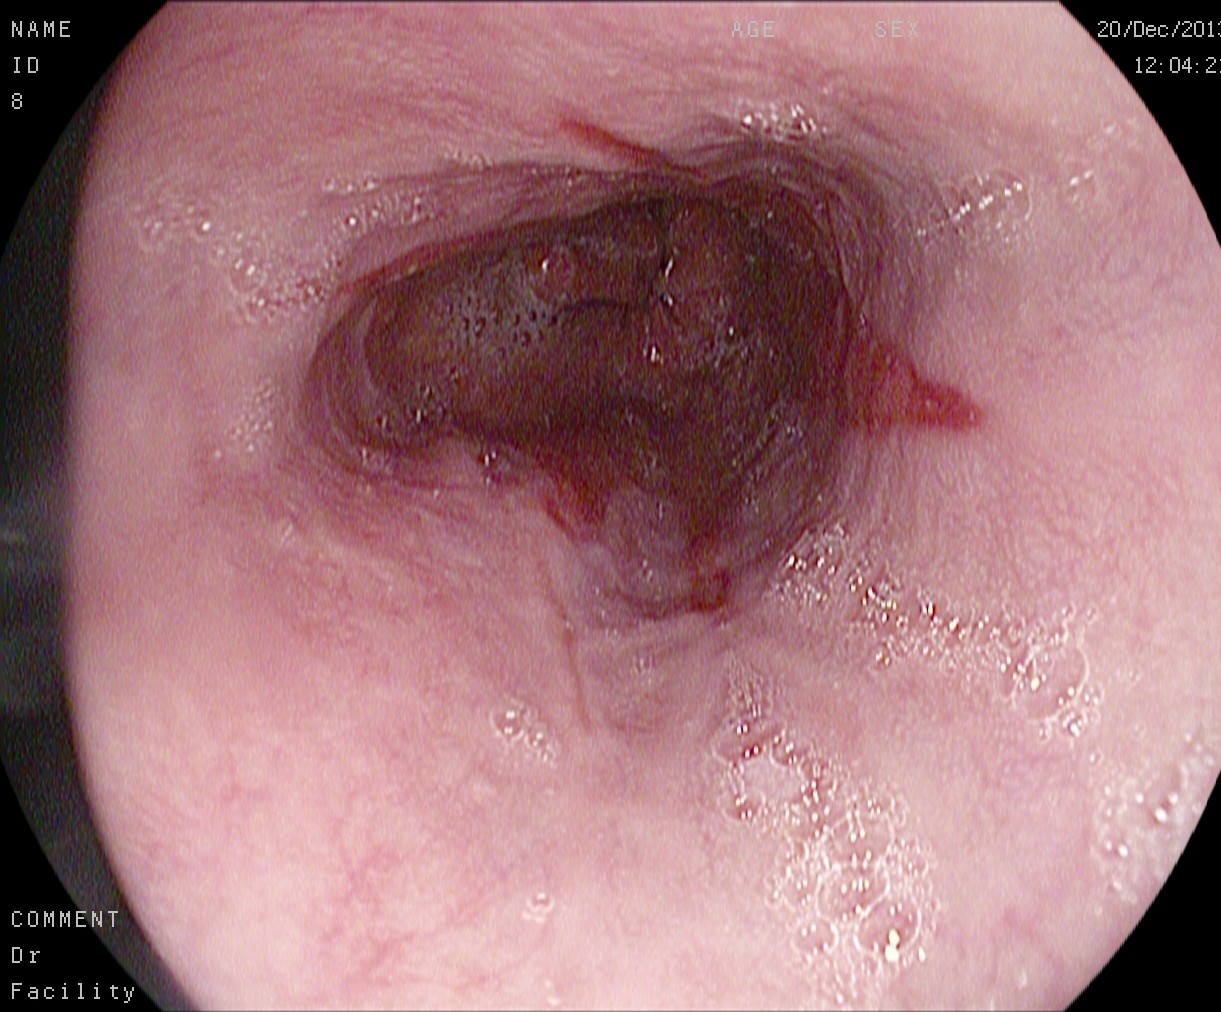PROCEDURE: Gastroscopy.
FINDINGS: Reflux esophagitis, Los Angeles grade A.